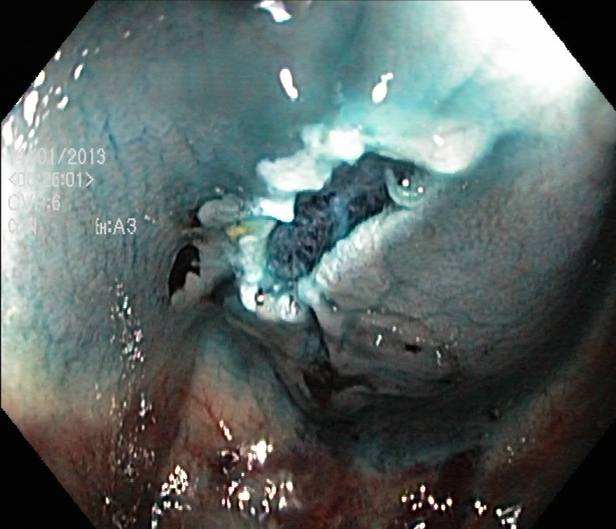PROCEDURE: Lower-GI endoscopy.
FINDINGS: Dyed resection margins (post-polypectomy).